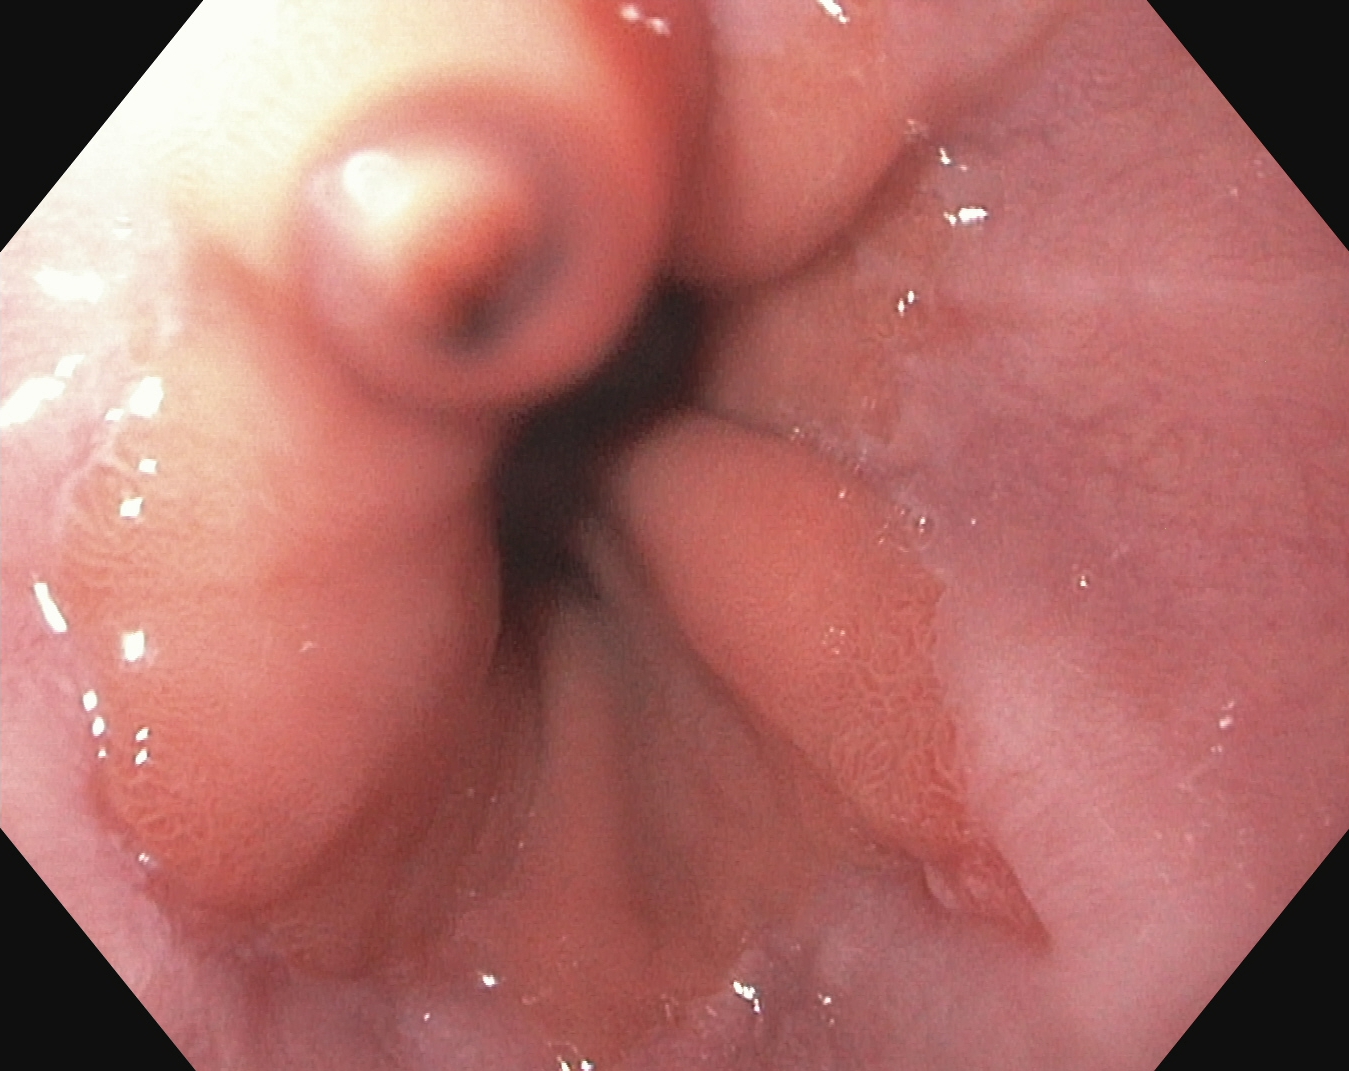{"modality": "gastroscopy", "finding": "Z-line (gastroesophageal junction)"}